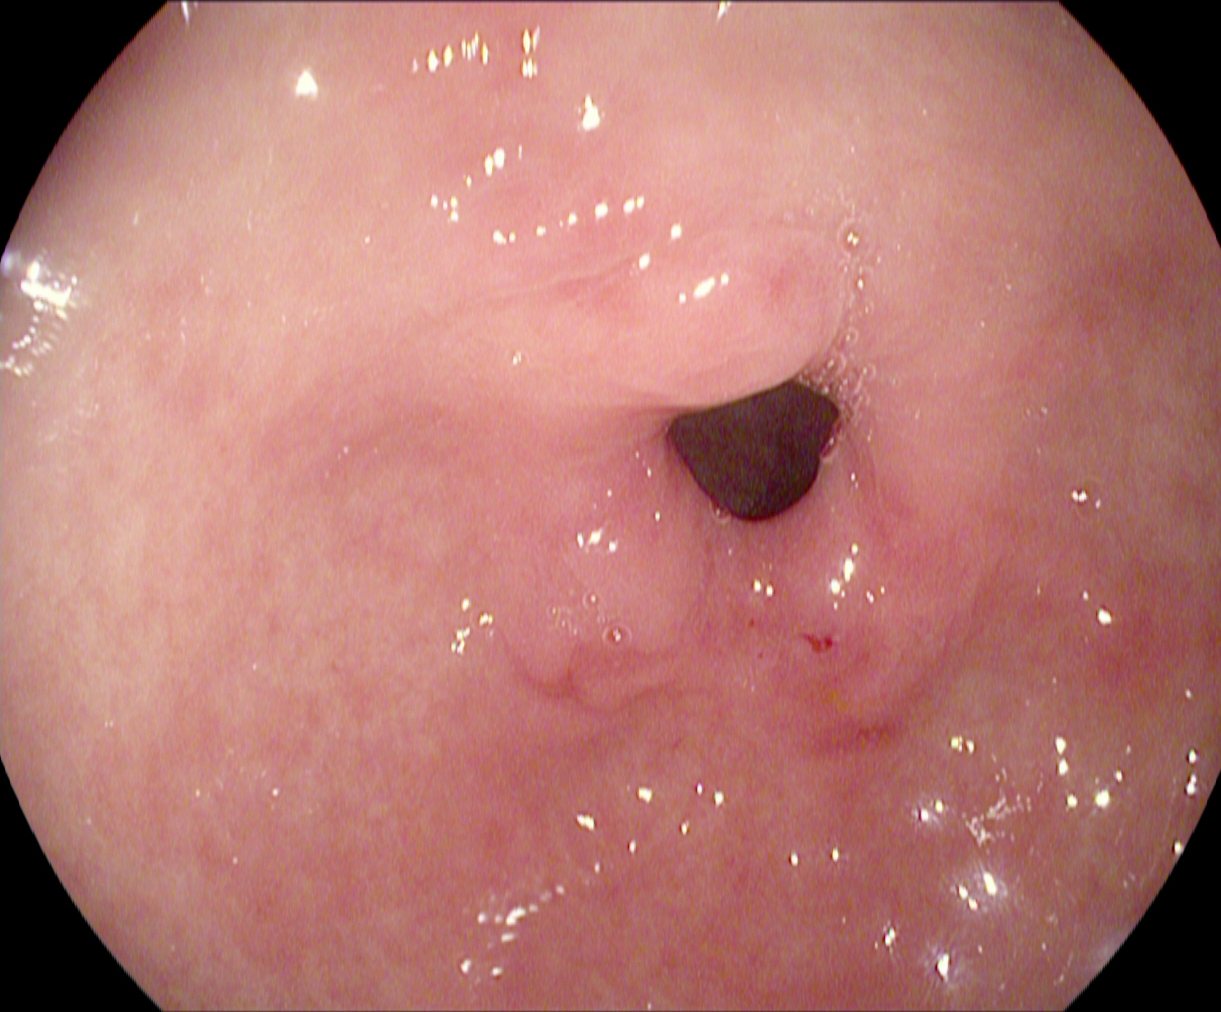Pylorus.